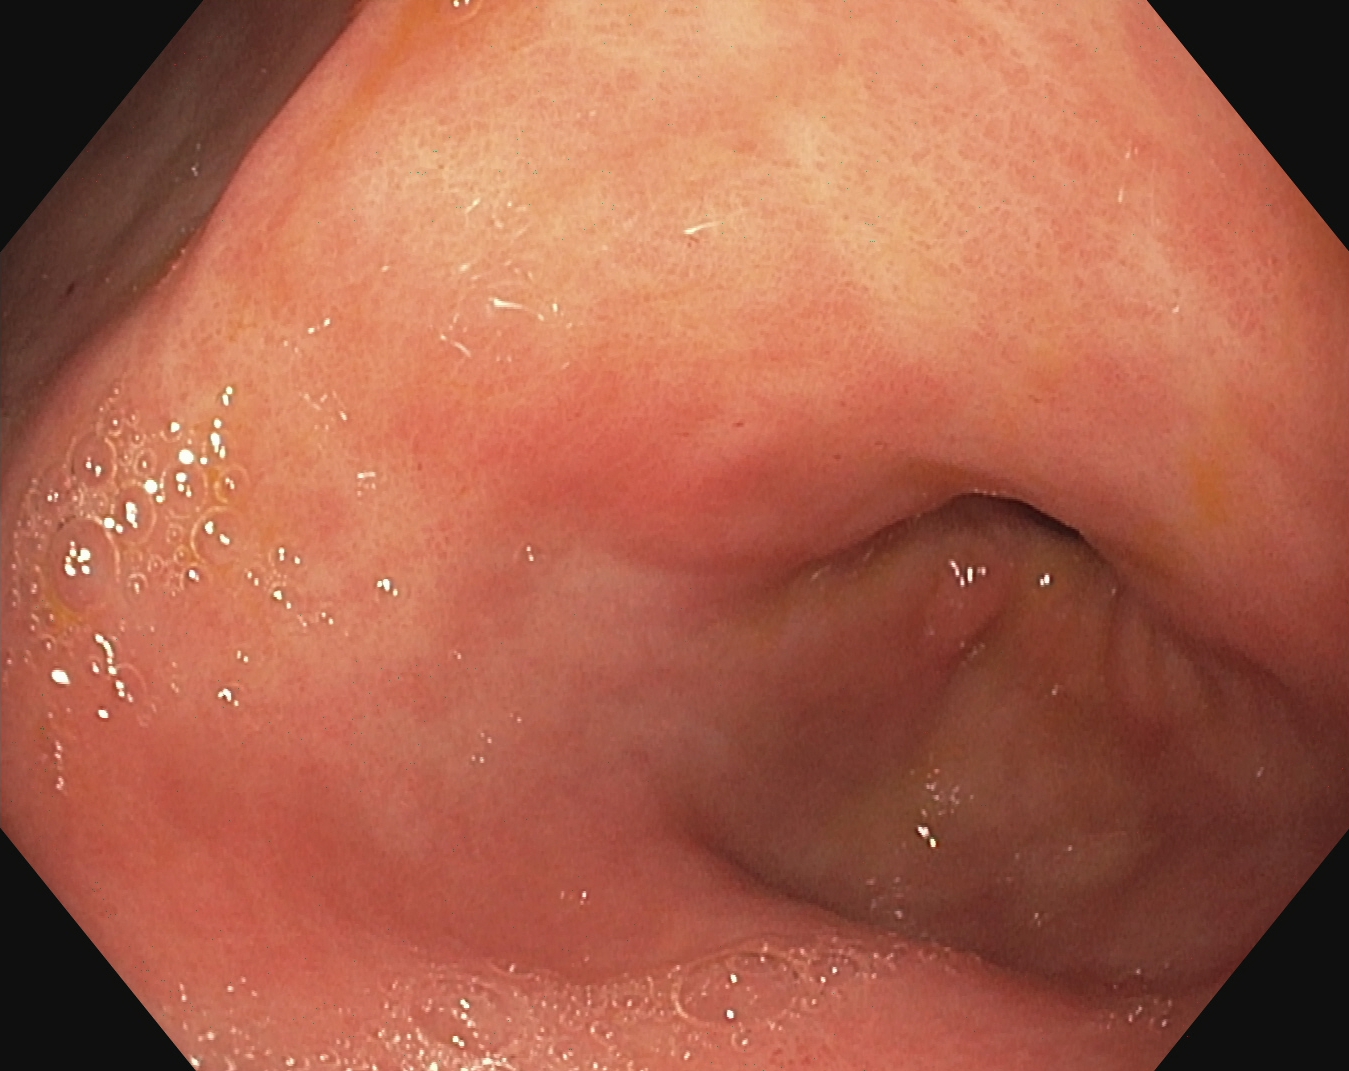Pylorus.